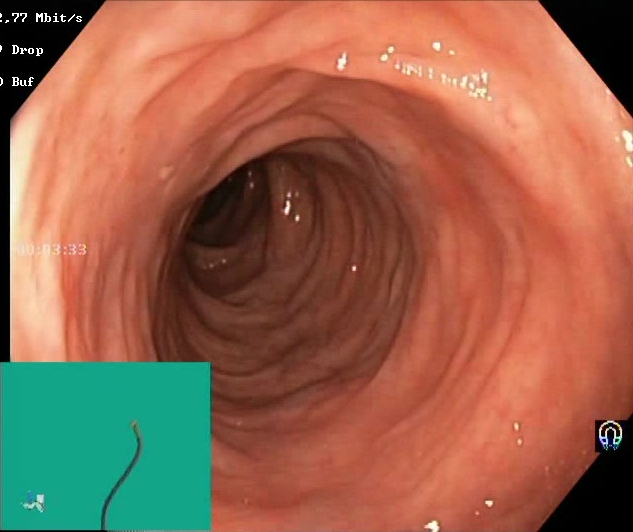Lower-GI endoscopy. Tract: lower GI tract. Mucosal-view quality. Finding: Boston Bowel Preparation Scale score 2–3 (adequate preparation).